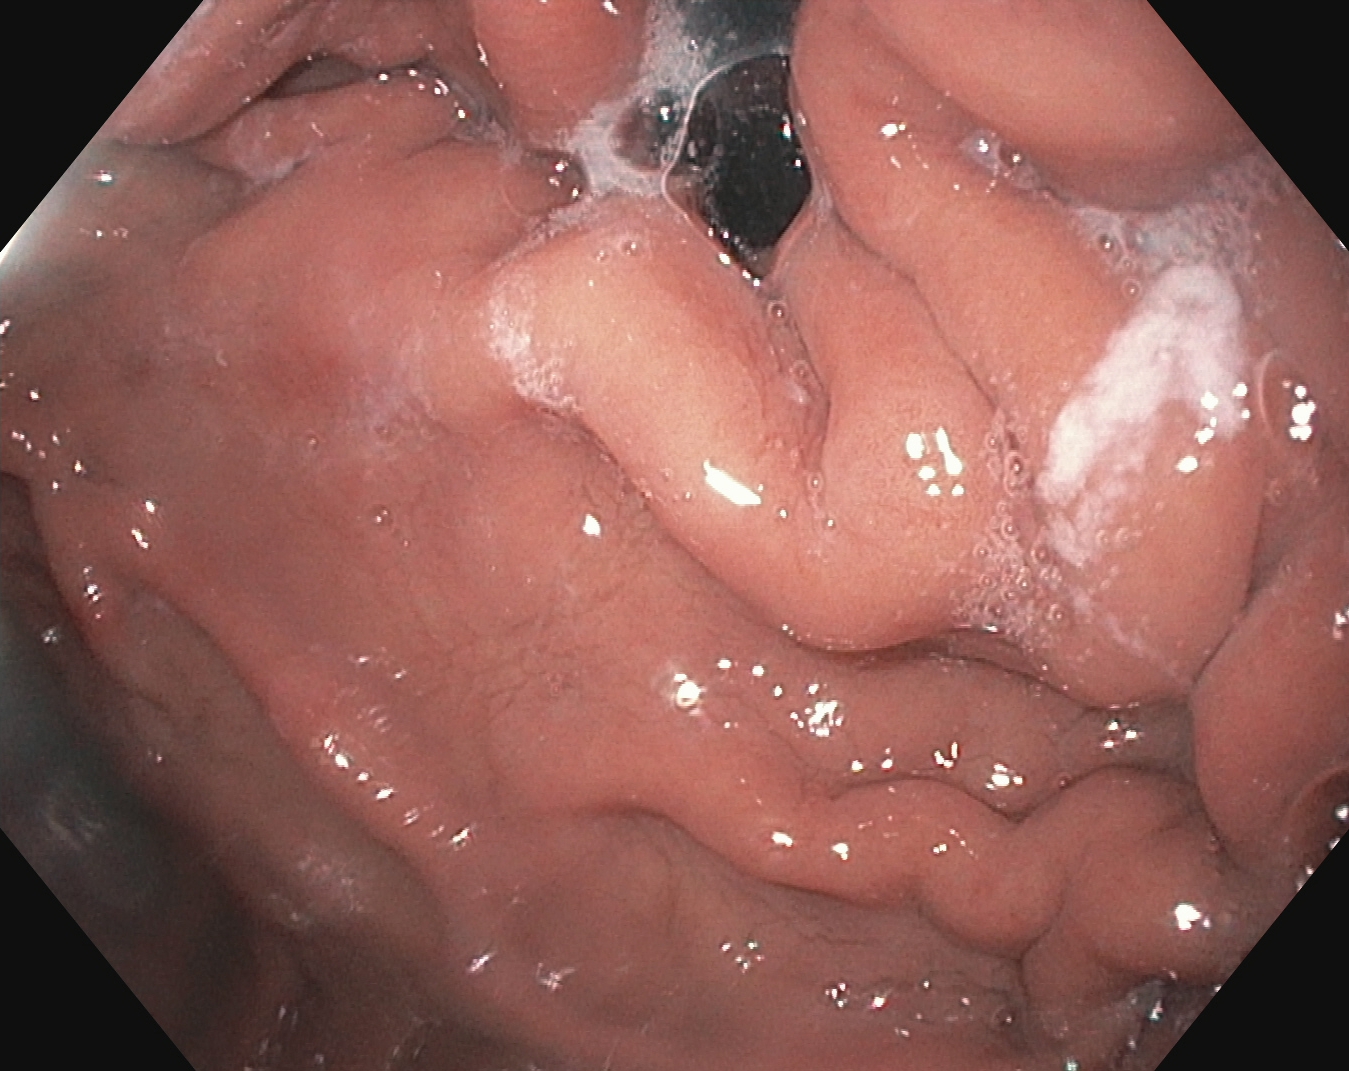Endoscopic frame of the upper GI tract showing stomach in retroflexion.